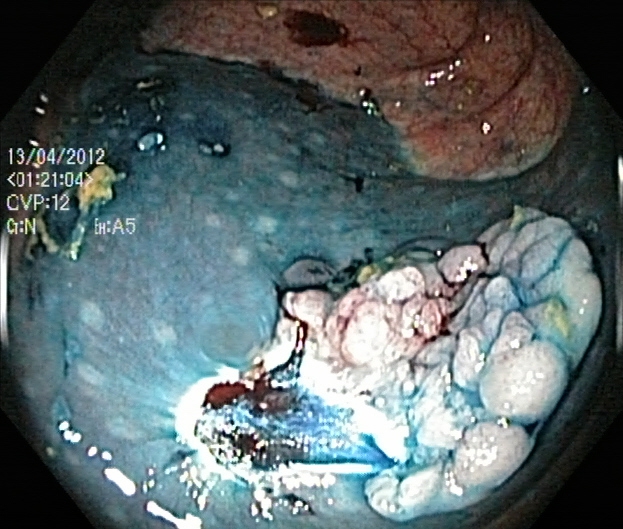This endoscopy frame shows dyed resection margins (post-polypectomy).